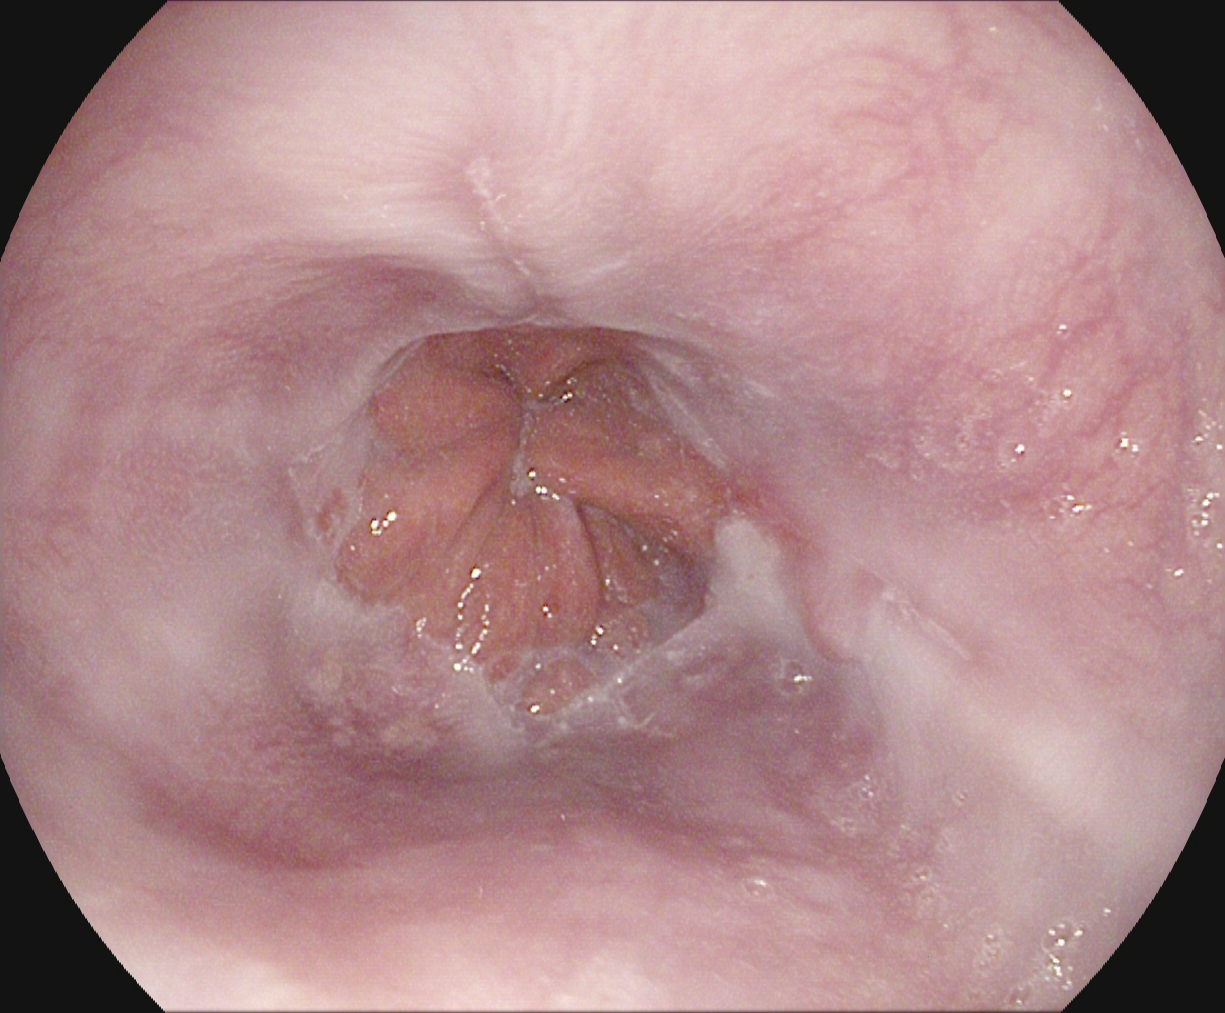reflux esophagitis, Los Angeles grade A.